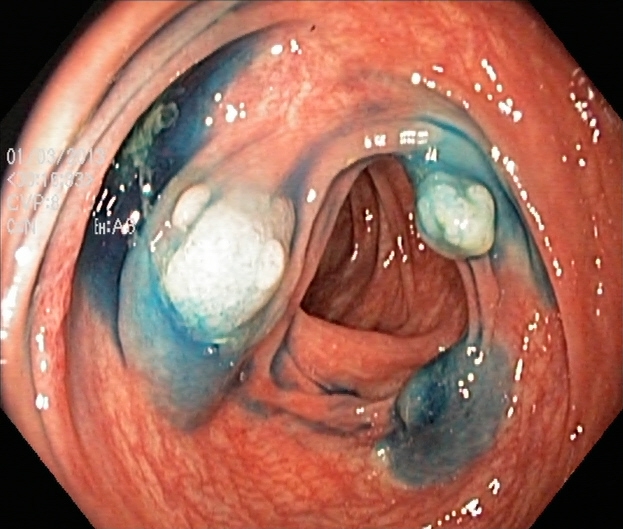modality: colonoscopy
category: therapeutic intervention
finding: dyed and lifted polyp (pre-resection)